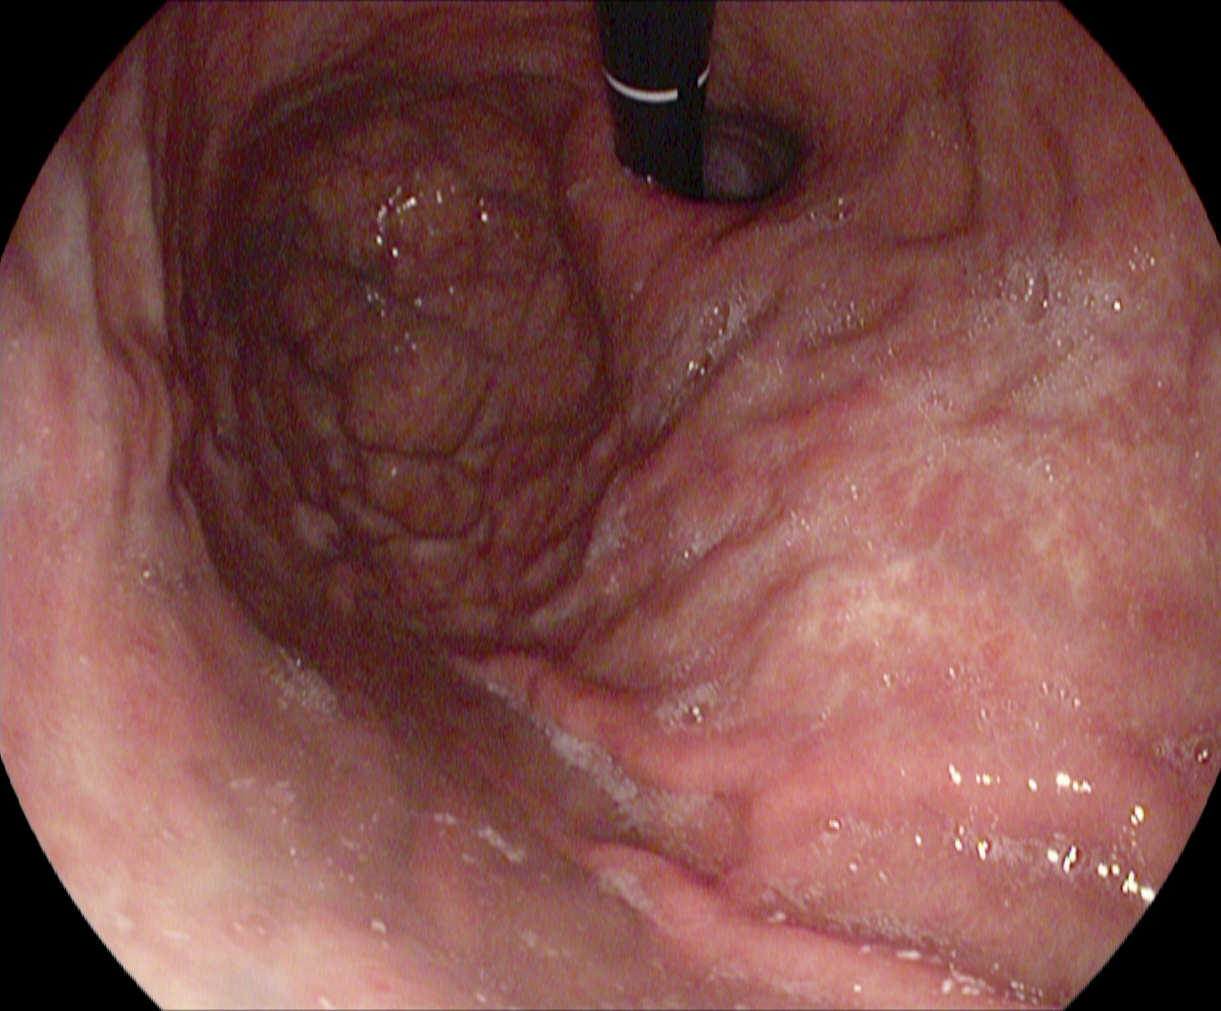This endoscopy frame shows stomach in retroflexion.